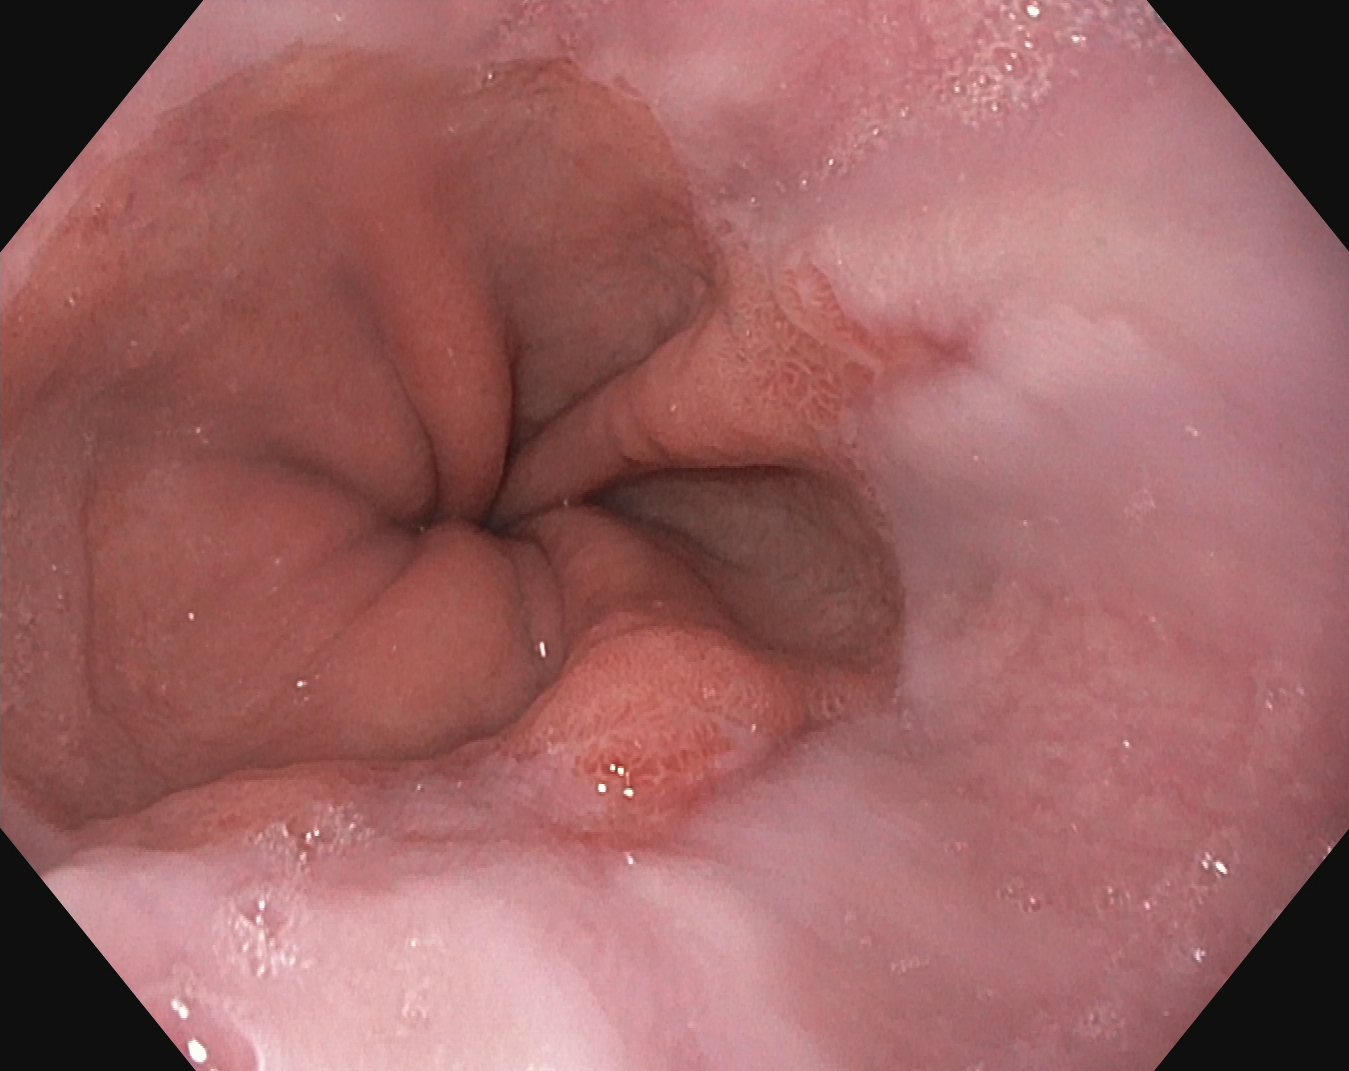This endoscopic image shows reflux esophagitis, Los Angeles grade A.